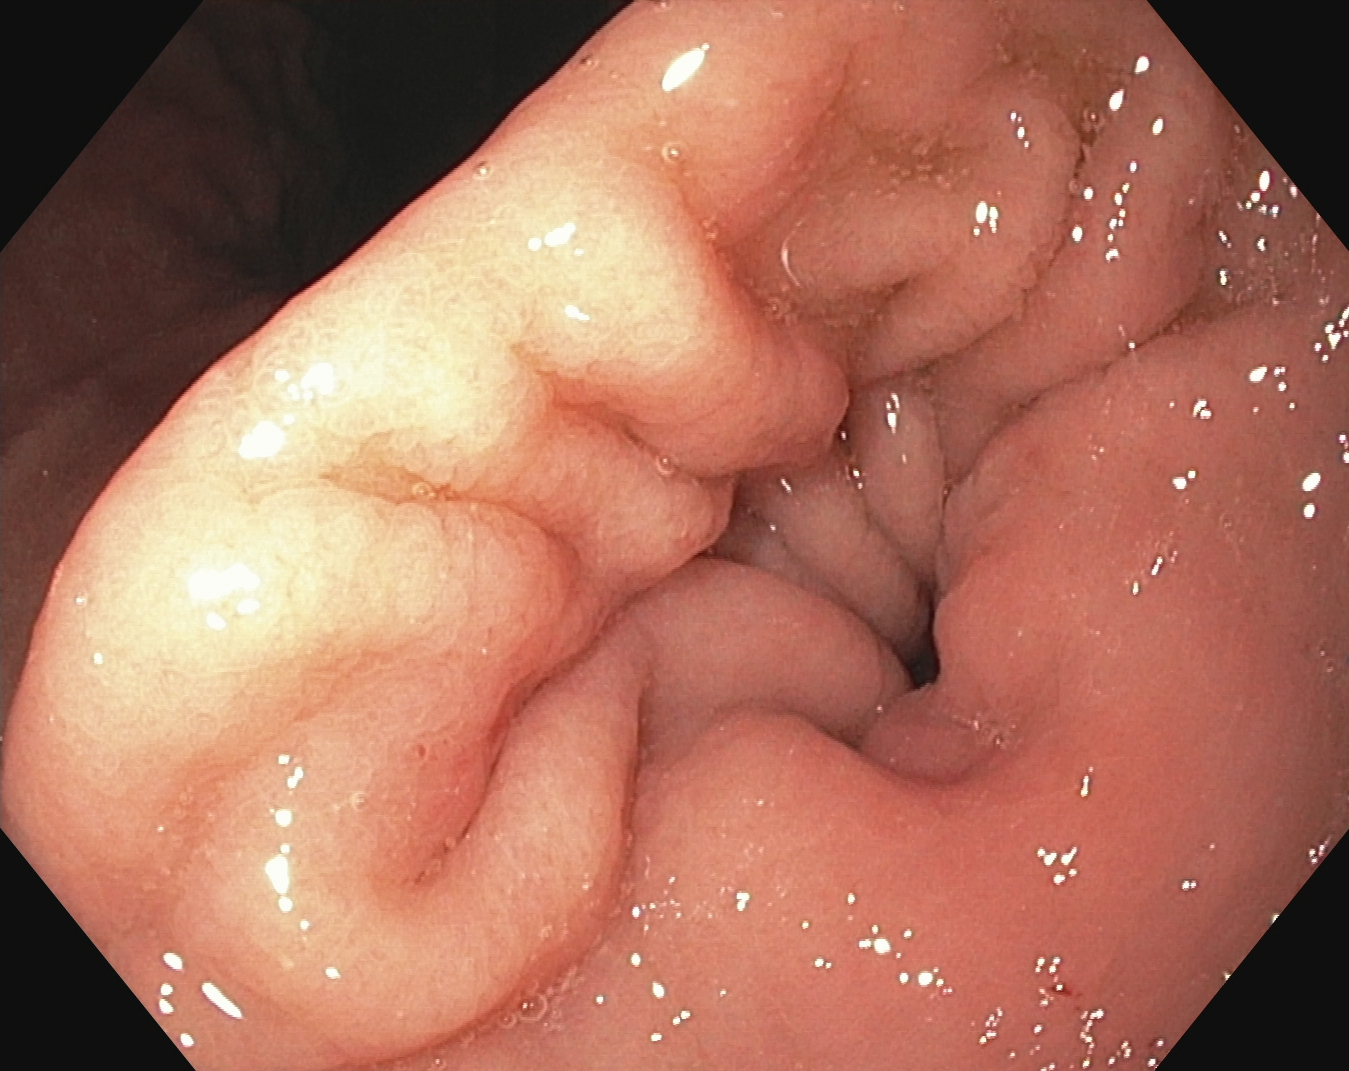{"modality": "gastroscopy", "finding": "pylorus"}